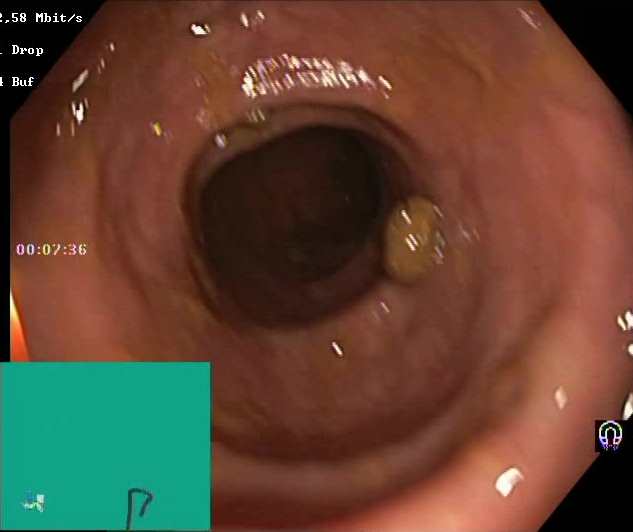BBPS score 2–3 (adequate preparation).